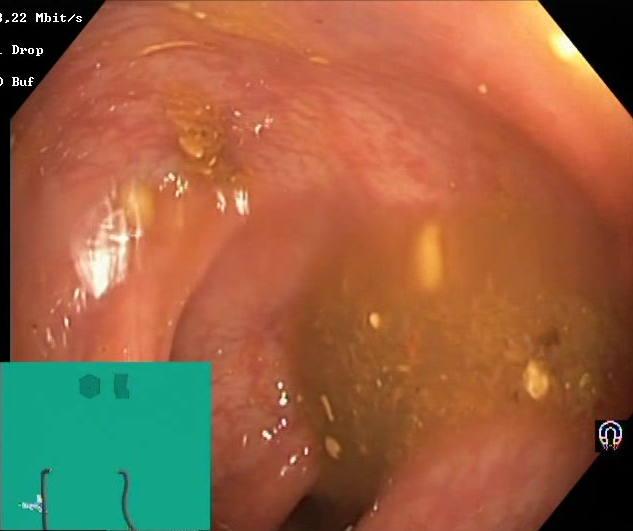Boston Bowel Preparation Scale score 0–1 (inadequate preparation).